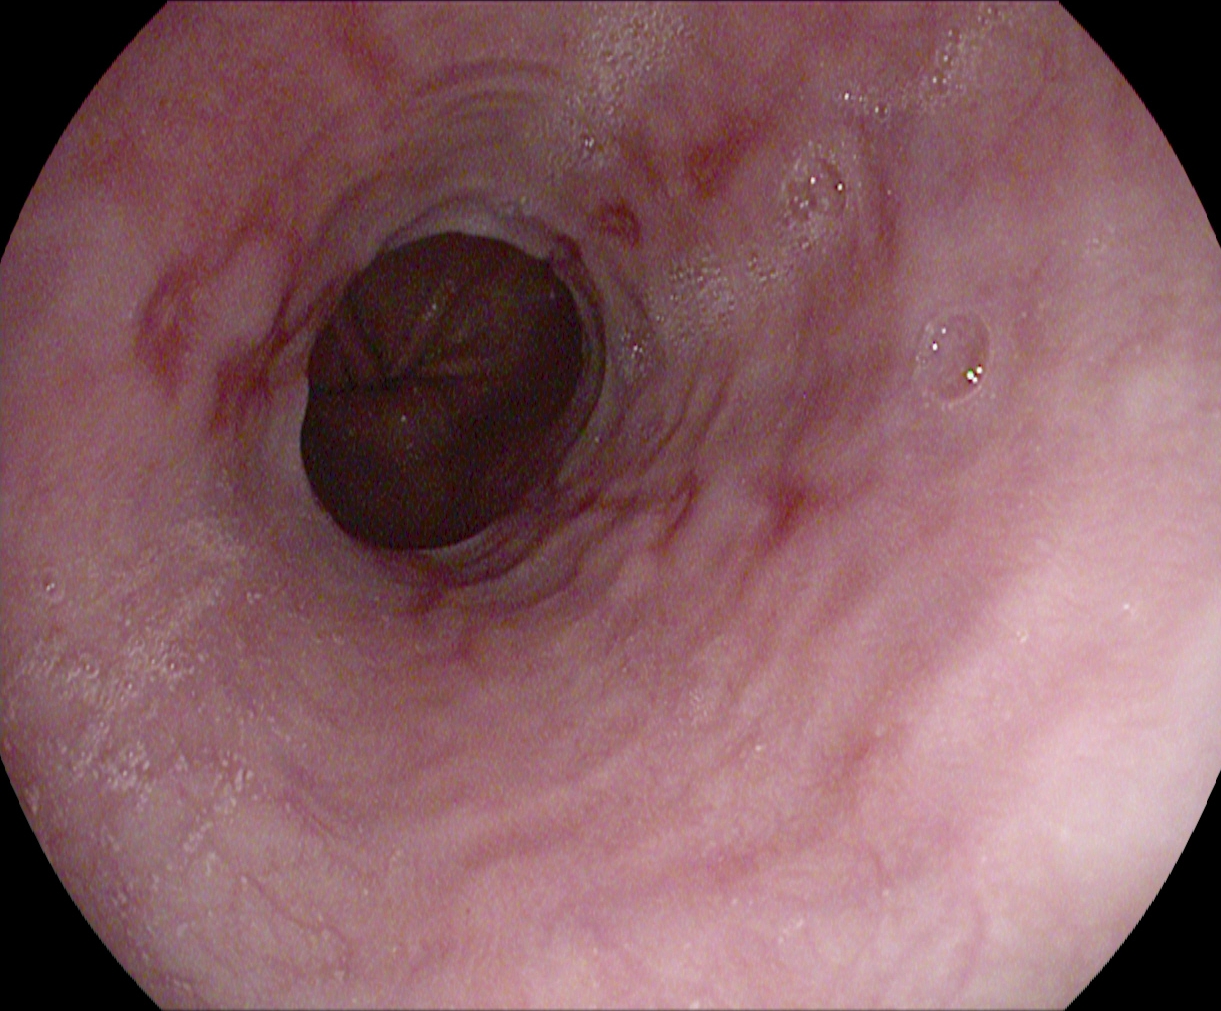Reflux esophagitis, Los Angeles grade B–D.